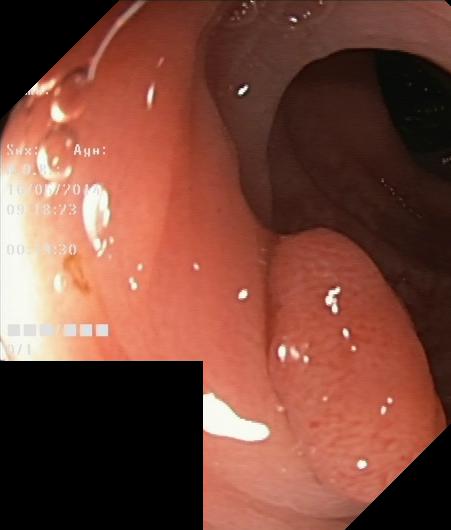{"modality": "lower-GI endoscopy", "tract": "lower GI tract", "finding": "colorectal polyp(s)"}